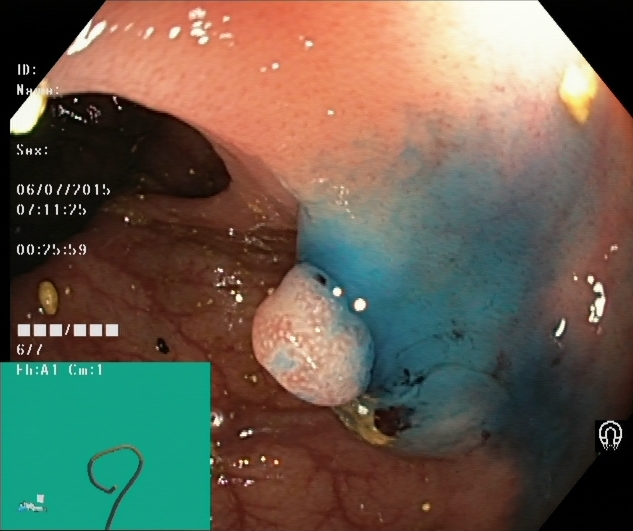PROCEDURE: Lower-GI endoscopy.
FINDINGS: Dyed and lifted polyp (pre-resection).